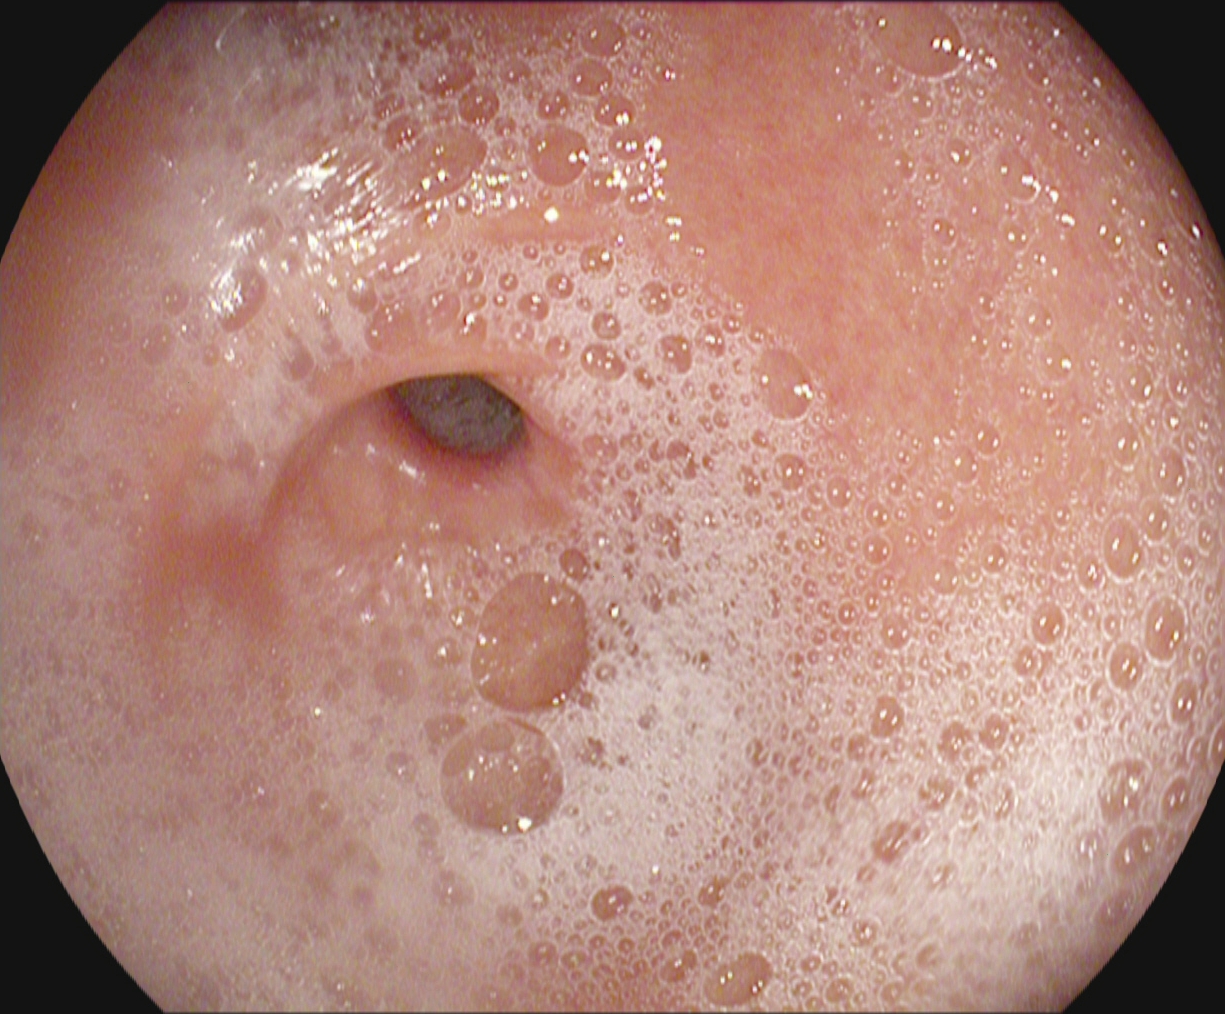modality: esophagogastroduodenoscopy | tract: upper GI tract | finding: pylorus